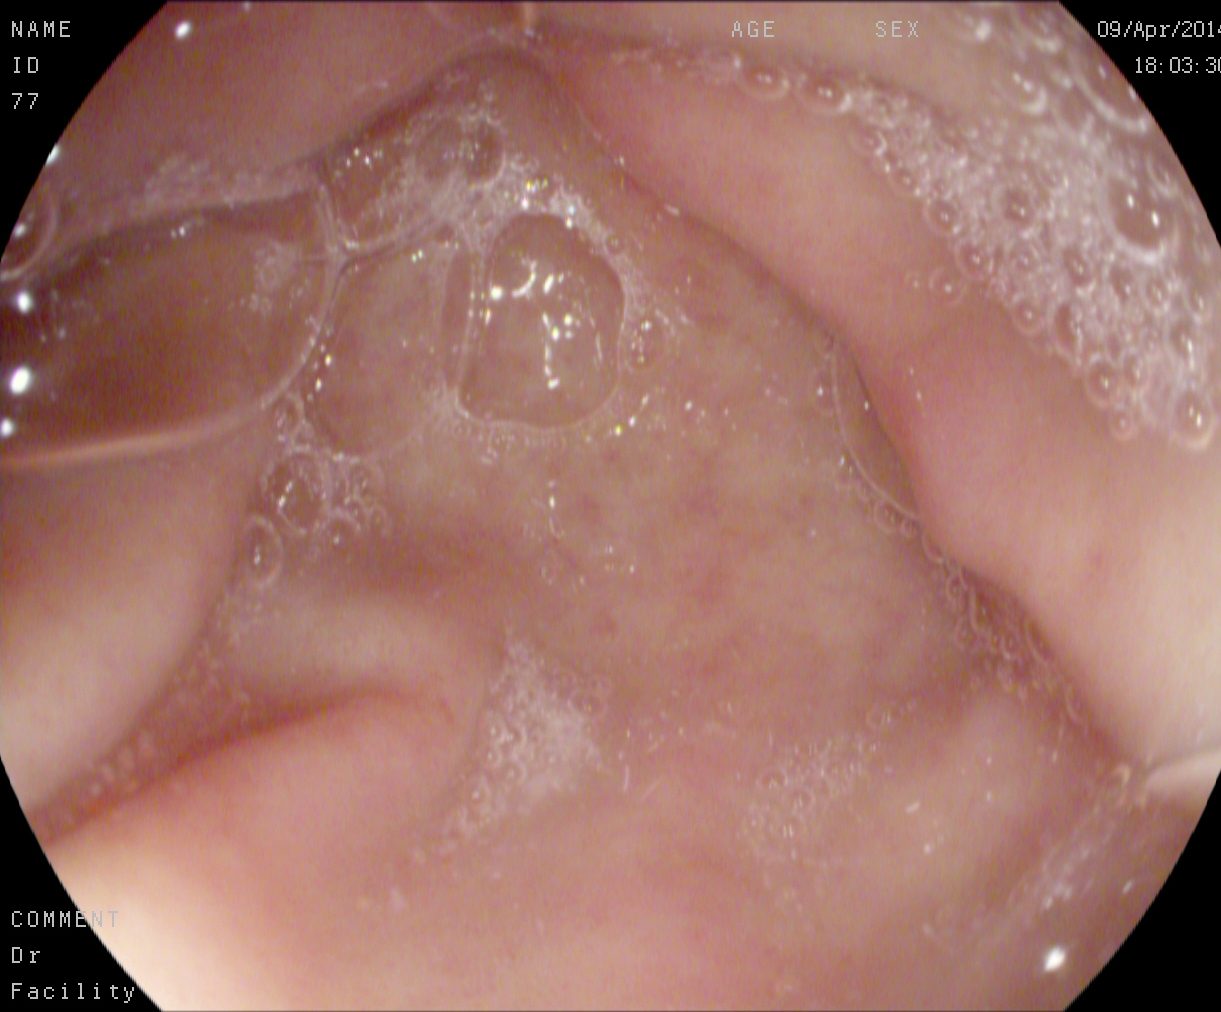PROCEDURE: Upper-GI endoscopy.
FINDINGS: Pylorus.